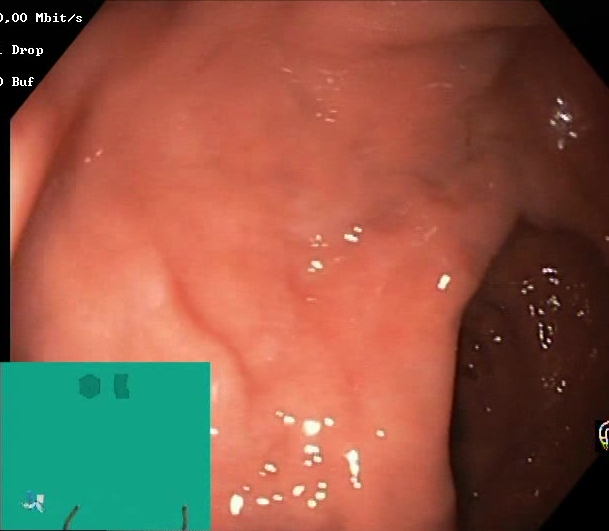Lower-GI endoscopy. Tract: lower GI tract. Mucosal-view quality. Finding: BBPS score 2–3 (adequate preparation).